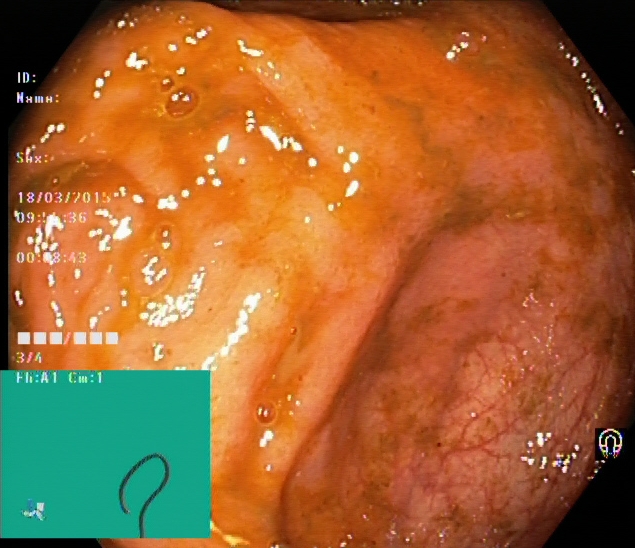Lower-GI endoscopy. Tract: lower GI tract. Anatomical landmark. Finding: cecum.